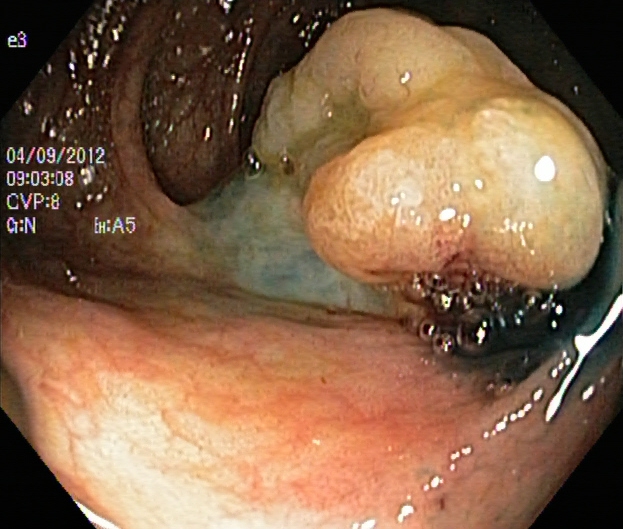modality: lower gastrointestinal endoscopy | tract: lower GI tract | finding: dyed and lifted polyp (pre-resection)